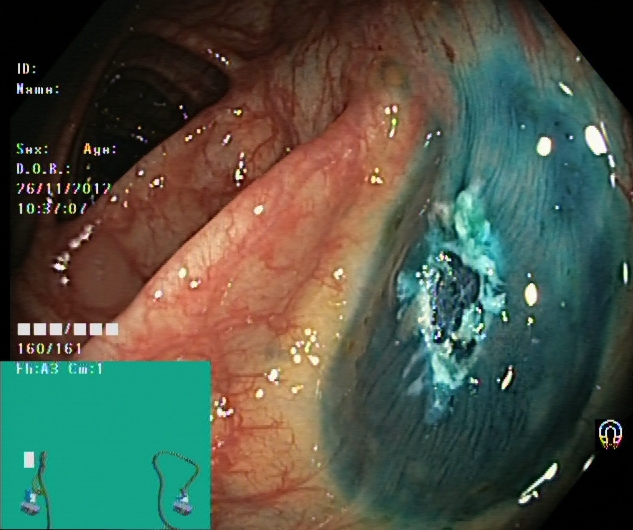Colonoscopy. Therapeutic intervention. Finding: dyed resection margins (post-polypectomy).